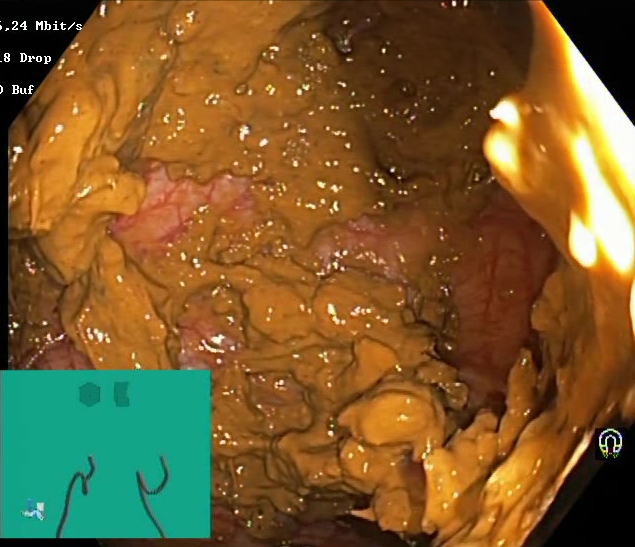Lower-GI endoscopy — BBPS score 0–1 (inadequate preparation).